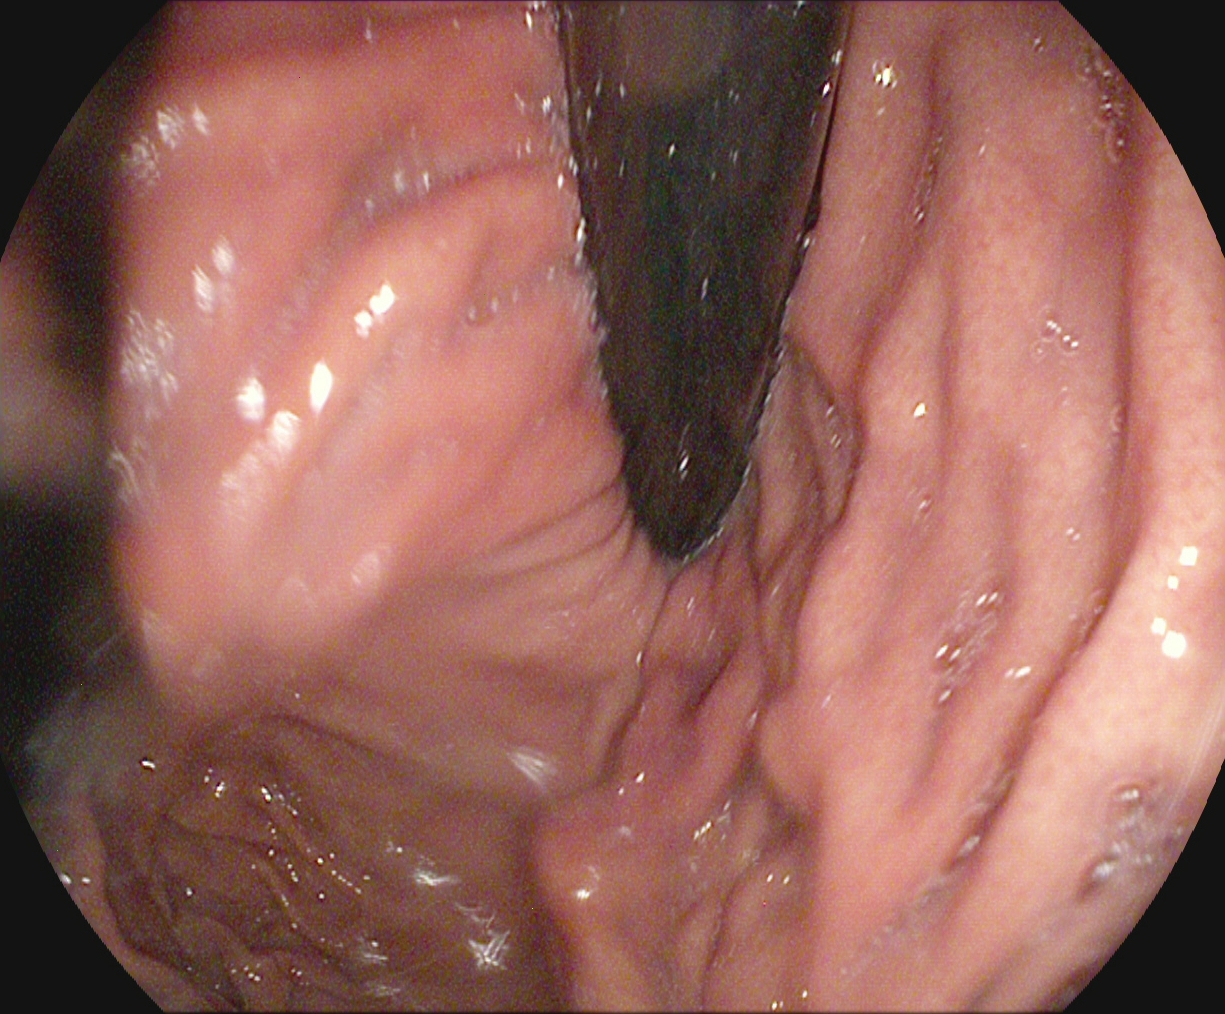stomach in retroflexion.